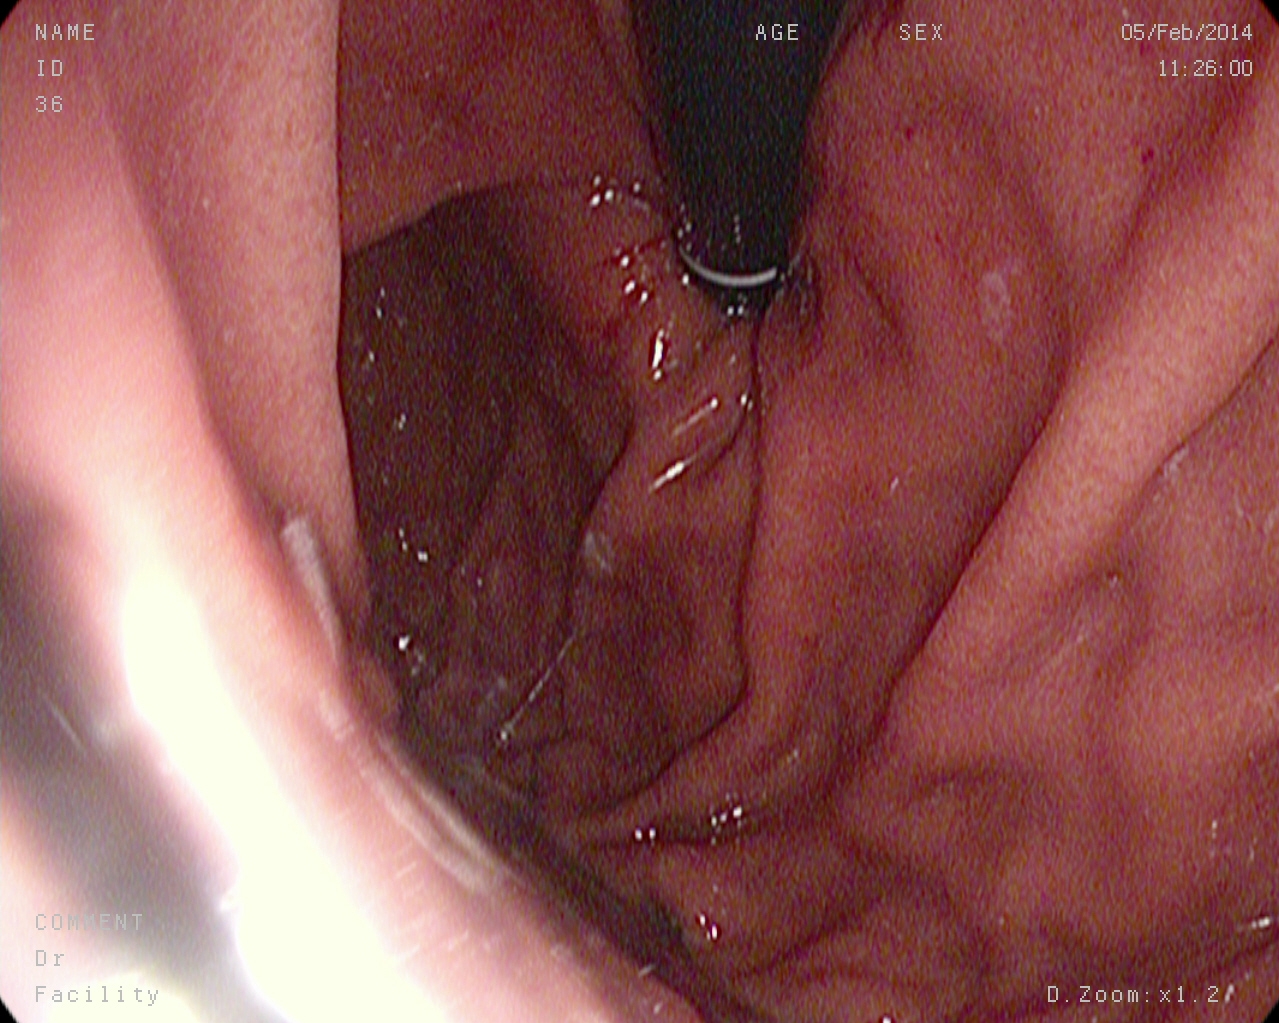Endoscopic frame showing stomach in retroflexion.